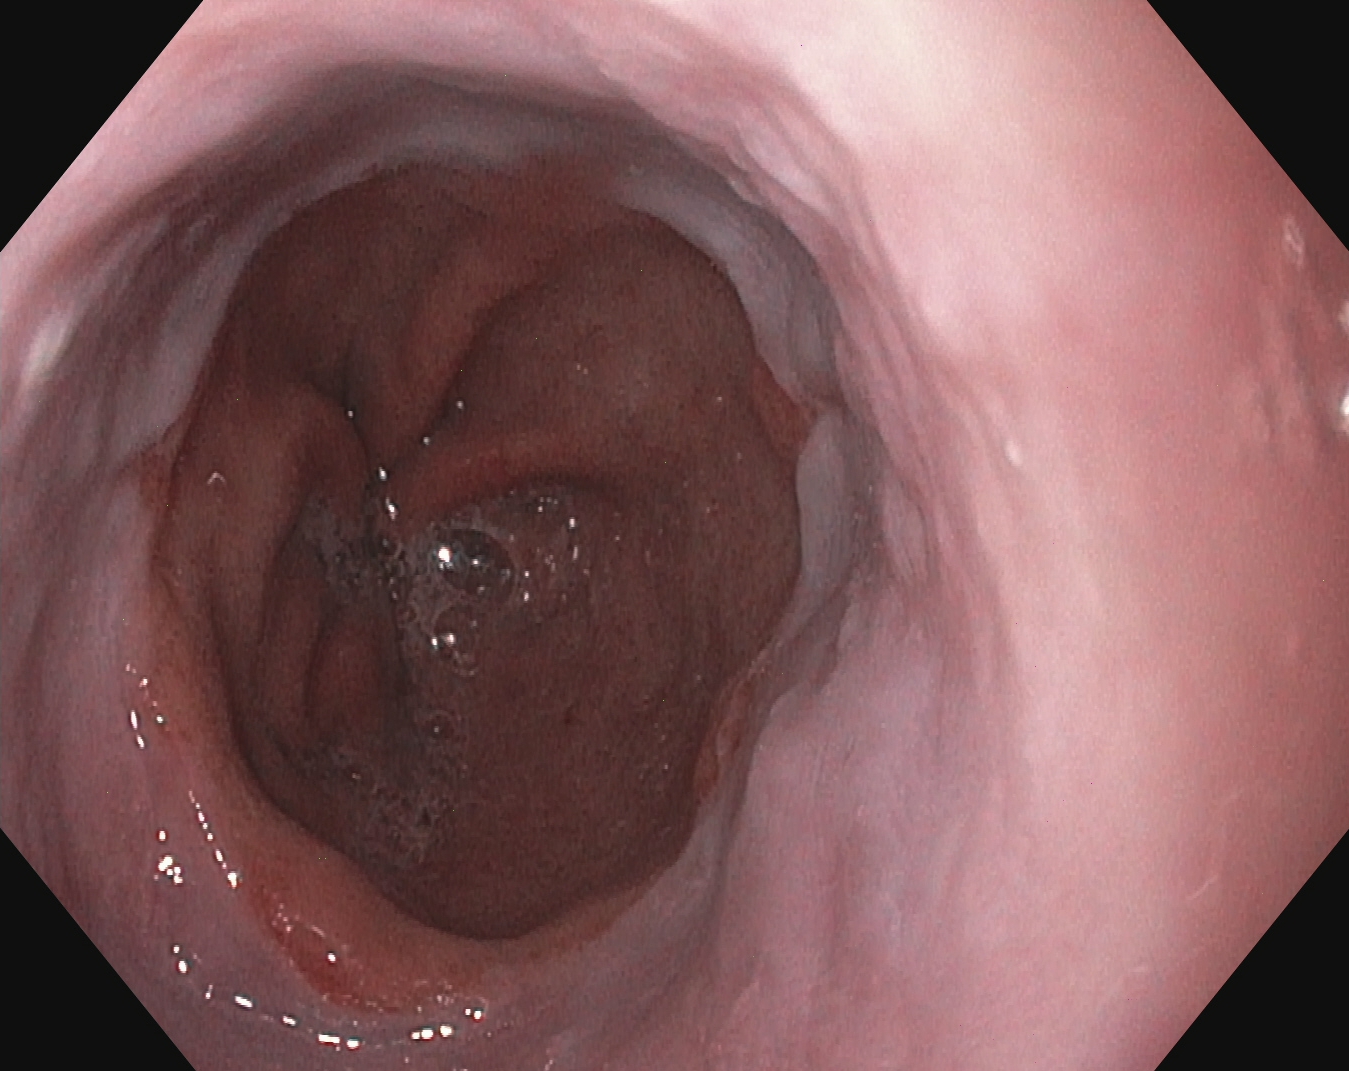Reflux esophagitis, Los Angeles grade A.